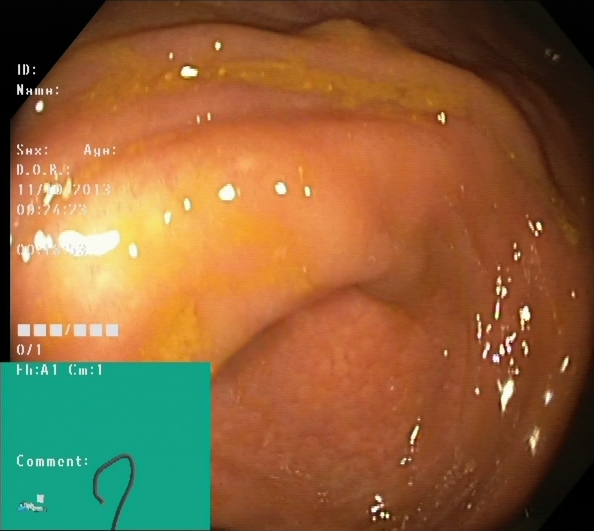Lower gastrointestinal endoscopy image of the lower GI tract showing cecum.